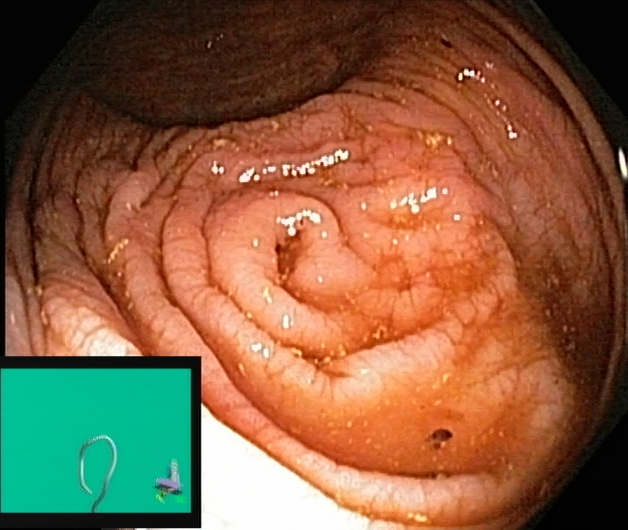PROCEDURE: Lower-GI endoscopy.
FINDINGS: Cecum.